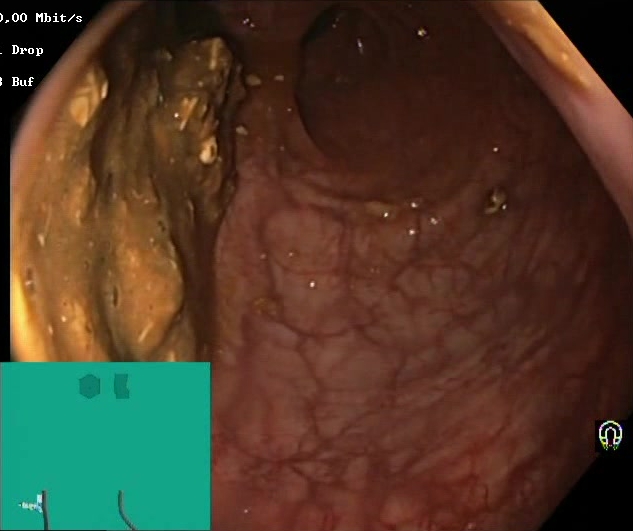Lower-GI endoscopy image showing Boston Bowel Preparation Scale score 0–1 (inadequate preparation).